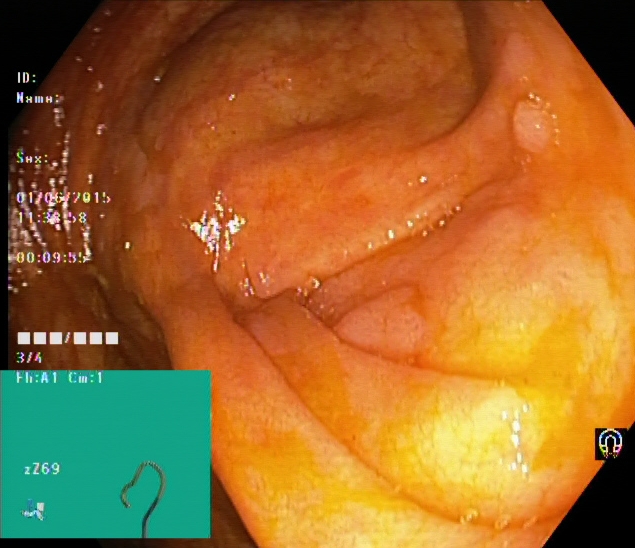modality: colonoscopy | tract: lower GI tract | category: anatomical landmark | finding: cecum